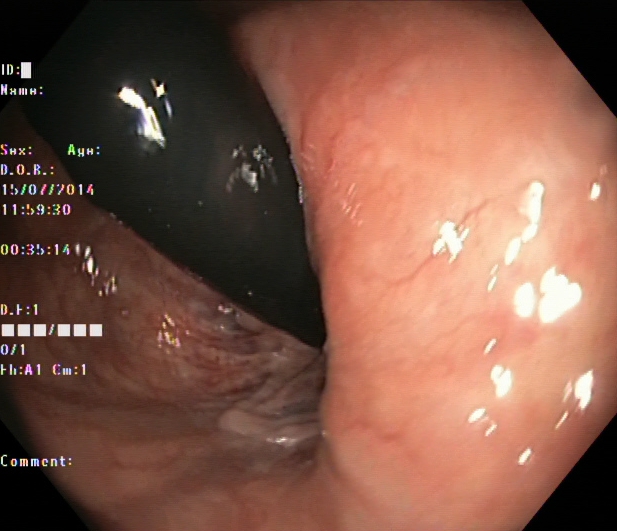modality: lower gastrointestinal endoscopy; category: anatomical landmark; finding: rectum in retroflexion